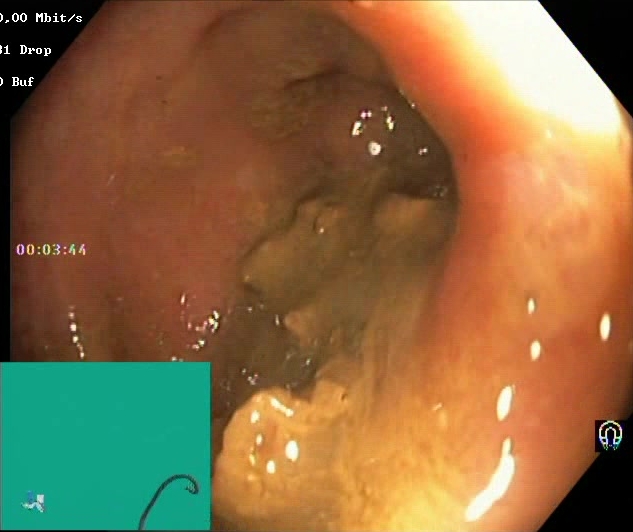PROCEDURE: Colonoscopy.
CATEGORY: Mucosal-view quality.
FINDINGS: BBPS score 0–1 (inadequate preparation).